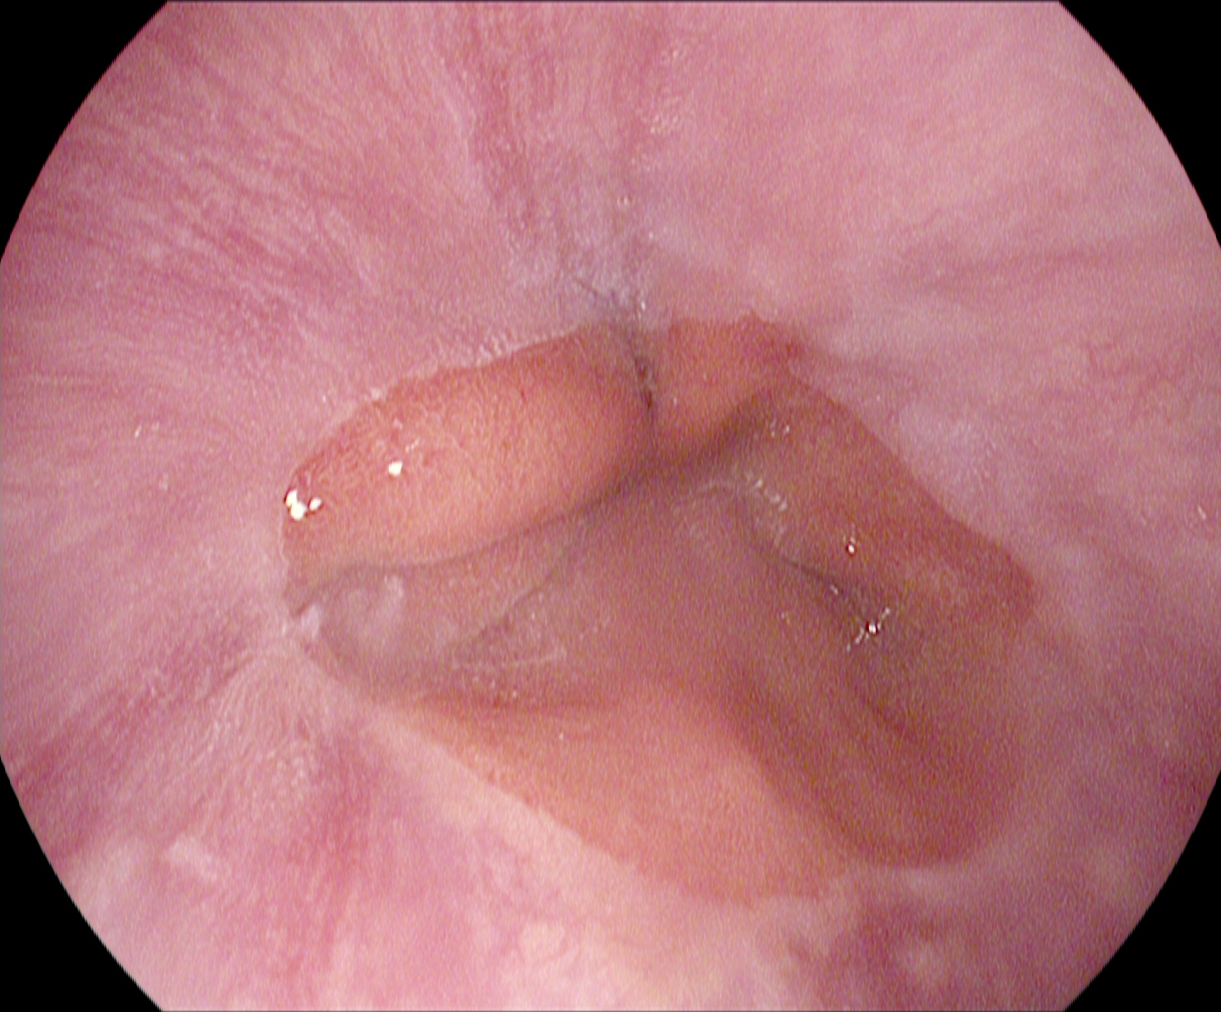modality: esophagogastroduodenoscopy; tract: upper GI tract; category: anatomical landmark; finding: Z-line (gastroesophageal junction)